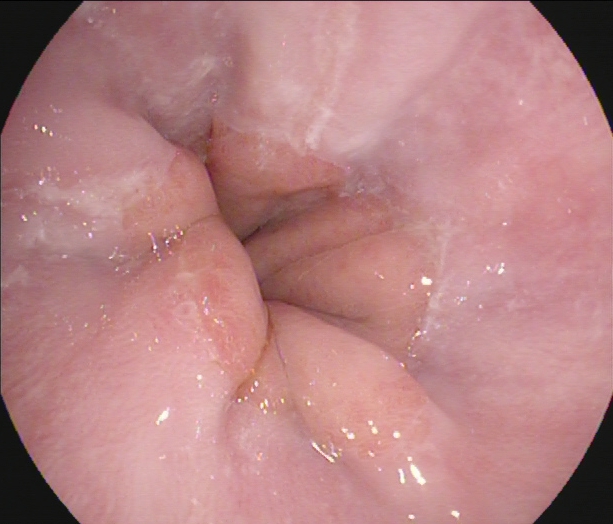modality: upper-GI endoscopy | tract: upper GI tract | category: anatomical landmark | finding: Z-line (gastroesophageal junction)